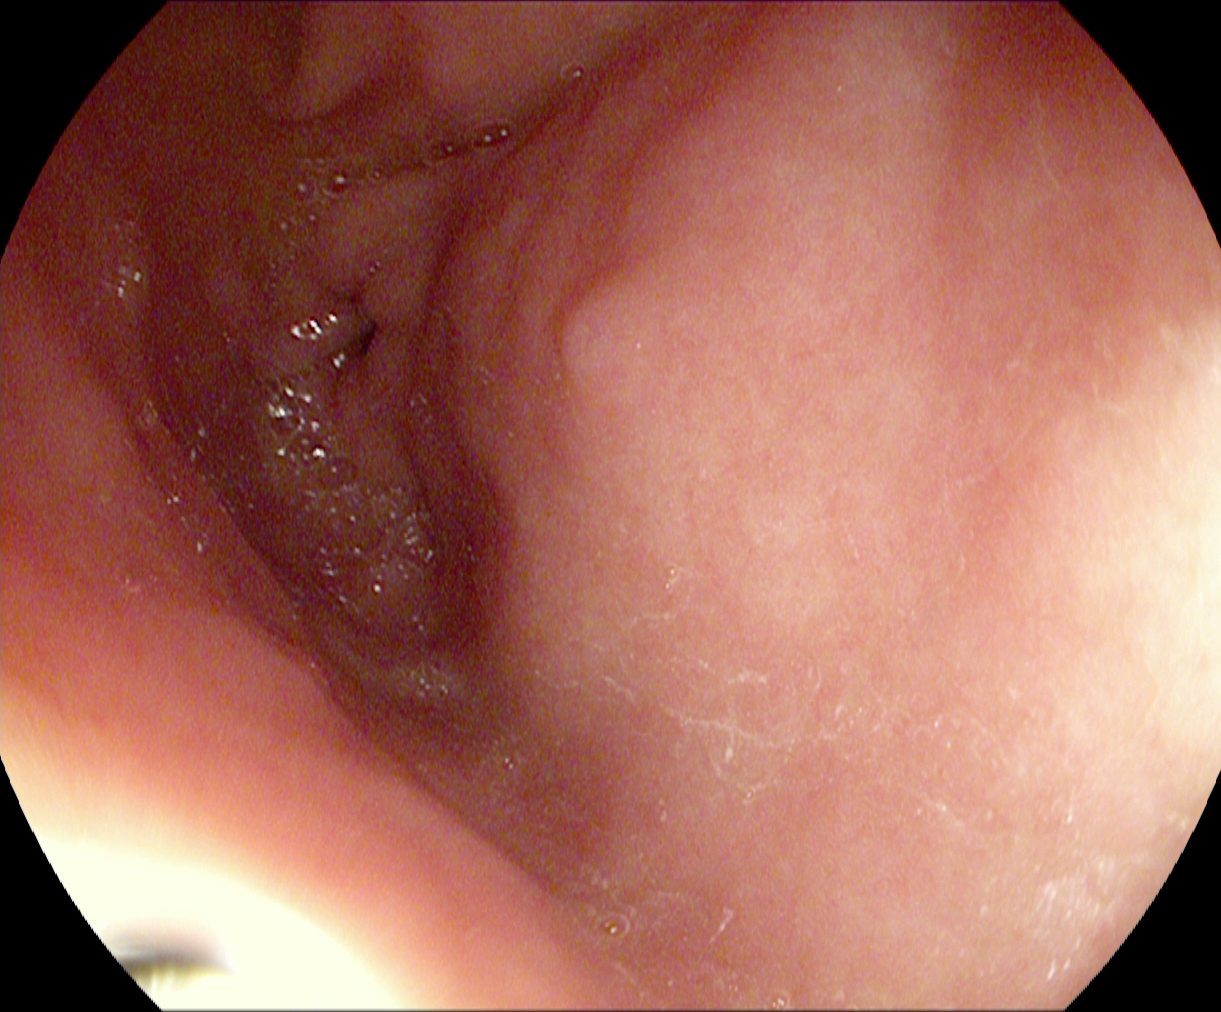Upper-GI endoscopy. Finding: pylorus.